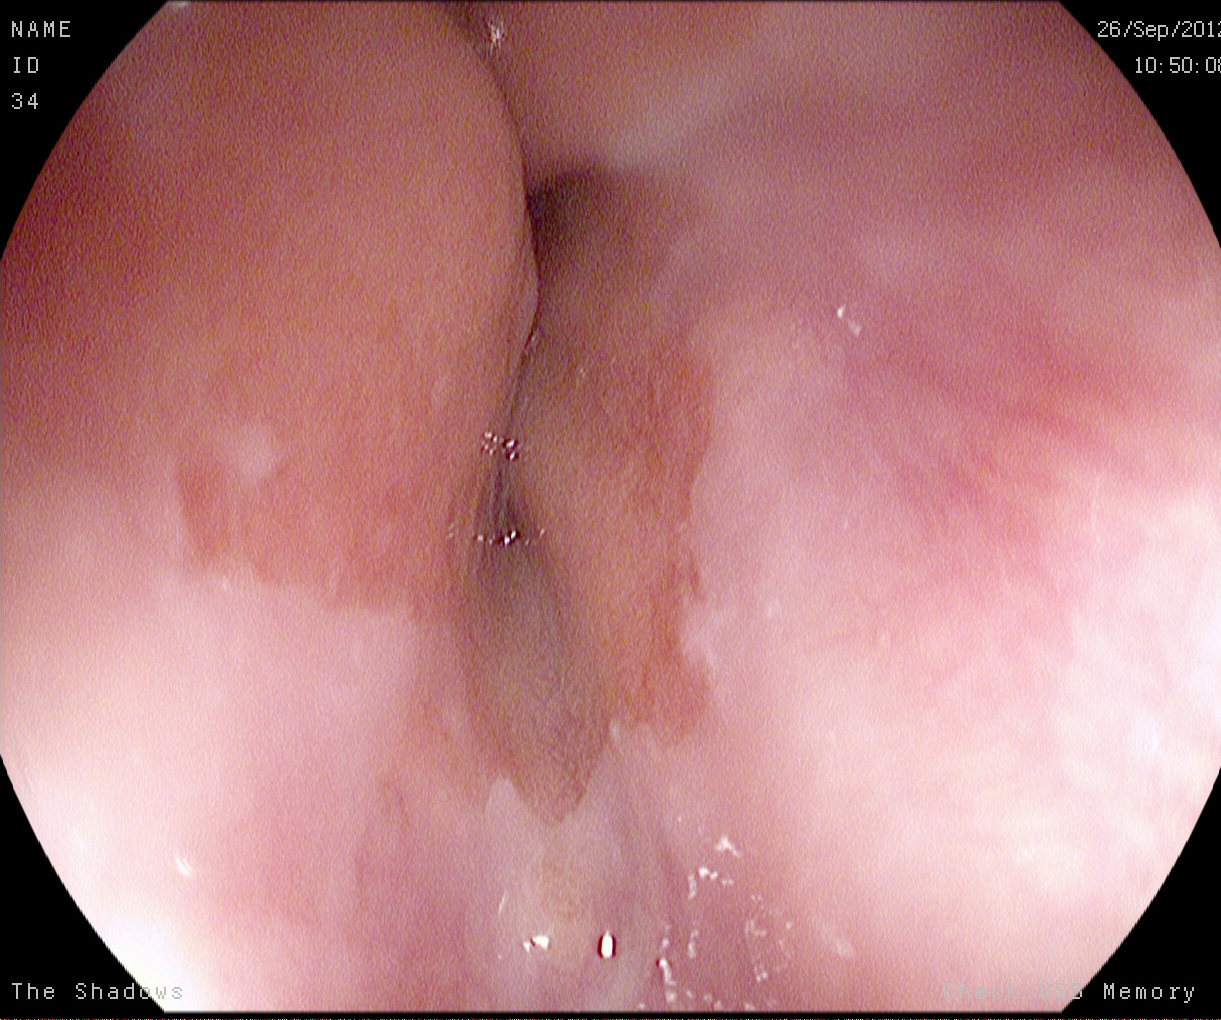EGD — Z-line (gastroesophageal junction).